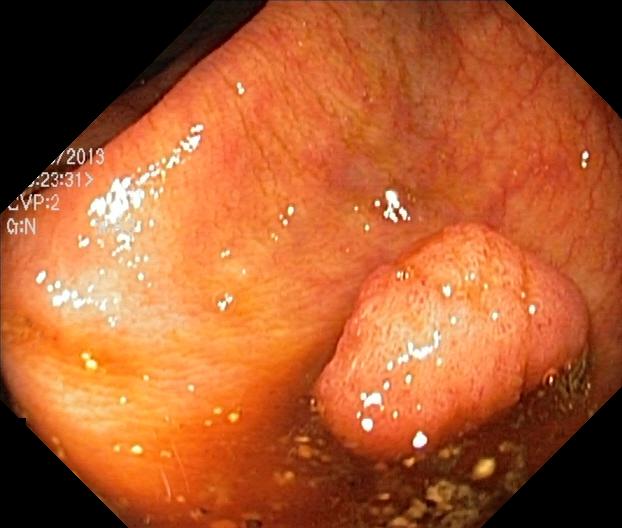modality: lower-GI endoscopy; finding: colorectal polyp(s)